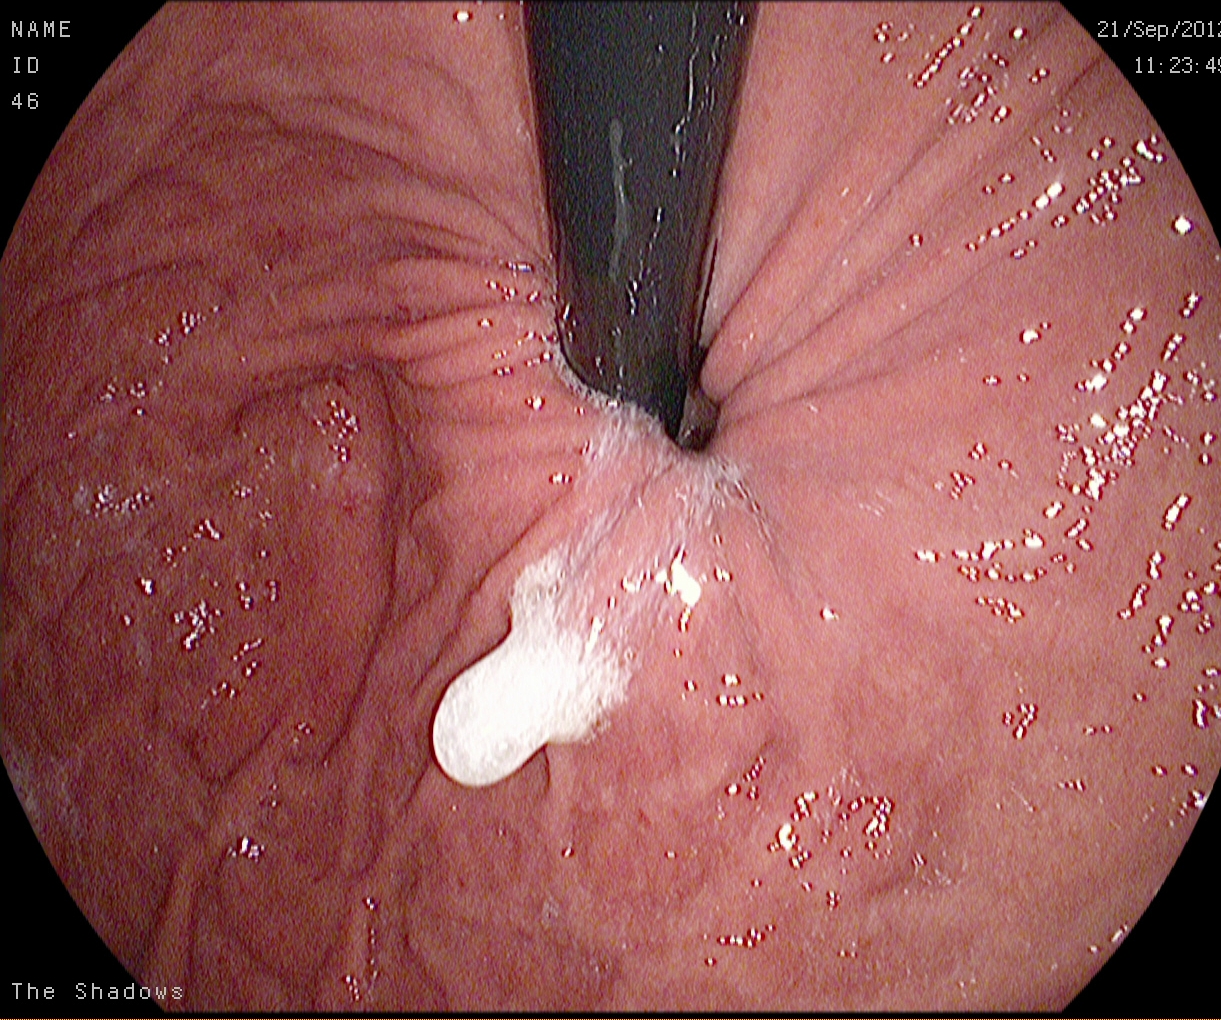Upper-GI endoscopy image showing stomach in retroflexion.